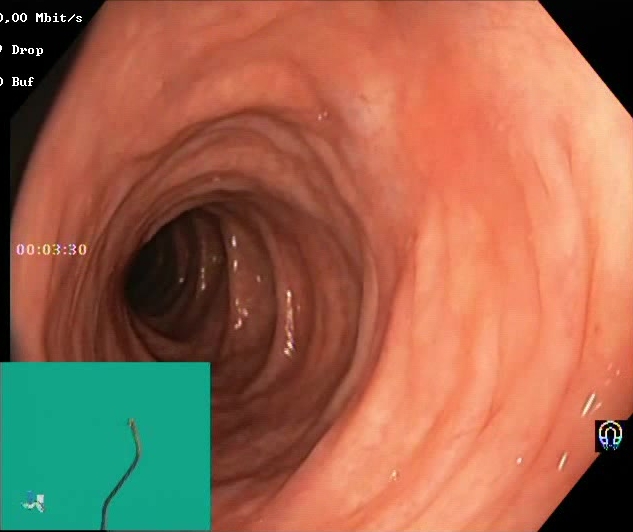BBPS score 2–3 (adequate preparation).